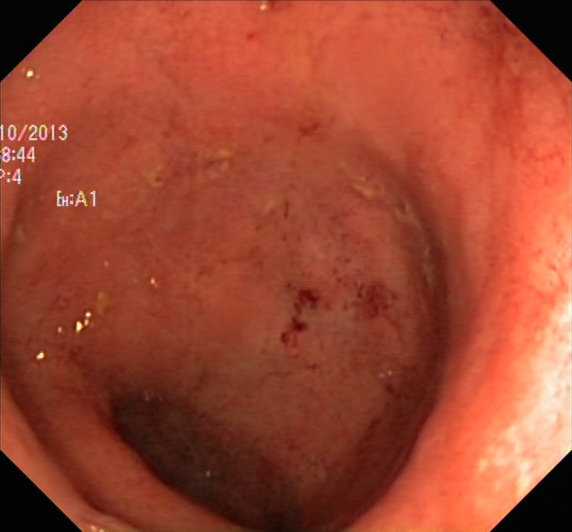{"modality": "lower gastrointestinal endoscopy", "category": "pathological finding", "finding": "UC, Mayo endoscopic subscore 2"}